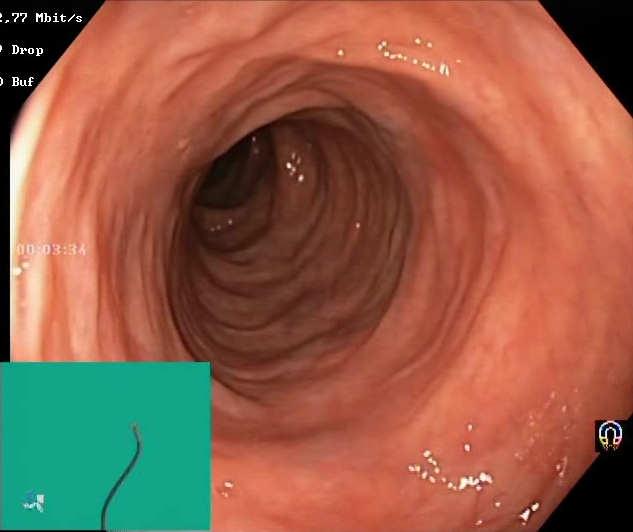This endoscopy frame of the lower GI tract shows BBPS score 2–3 (adequate preparation).